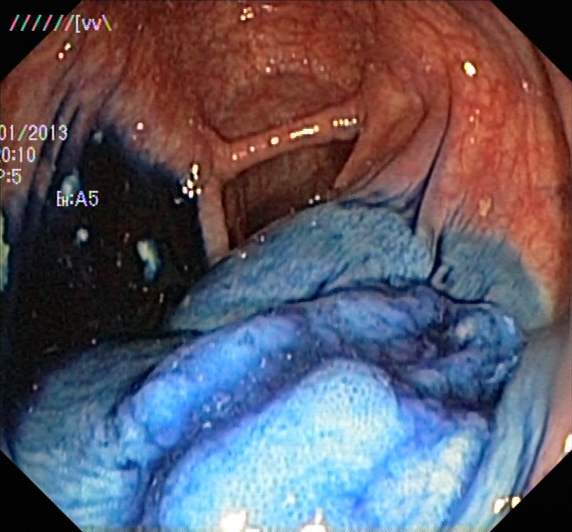Lower-GI endoscopy. Therapeutic intervention. Finding: dyed and lifted polyp (pre-resection).